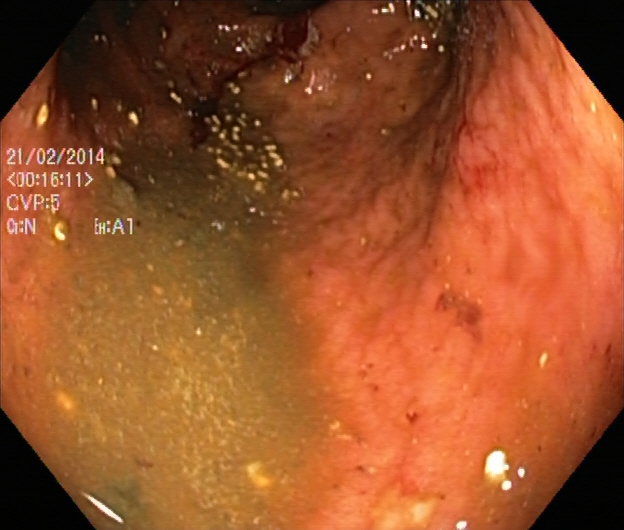ulcerative colitis, Mayo endoscopic subscore 2.